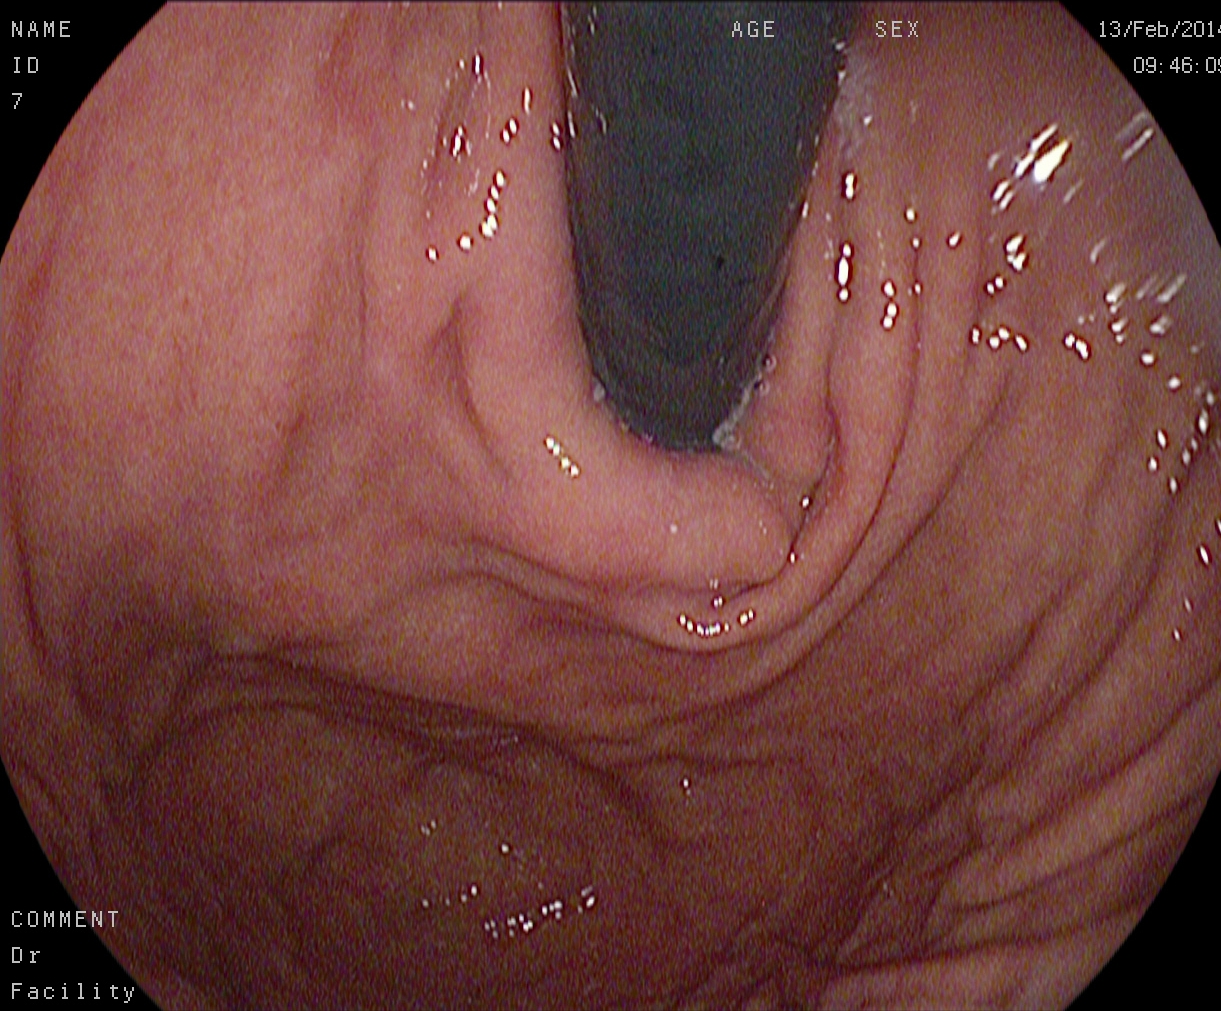Gastroscopy. Tract: upper GI tract. Finding: stomach in retroflexion.